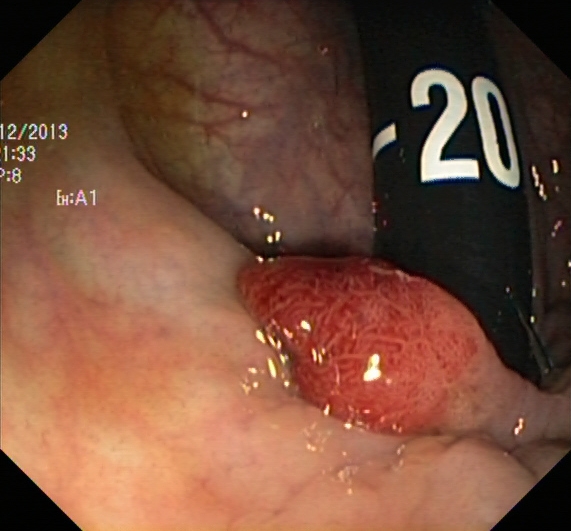Endoscopic frame showing colorectal polyp(s).